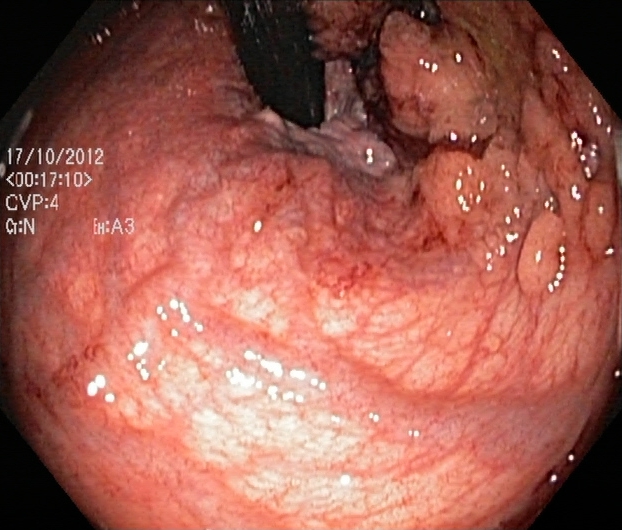modality: lower gastrointestinal endoscopy | finding: colorectal polyp(s)